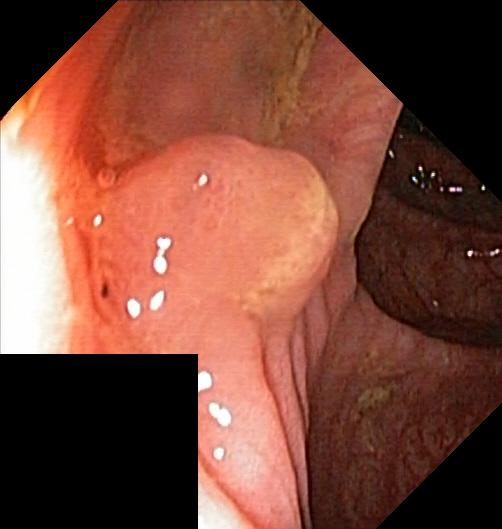{"modality": "colonoscopy", "tract": "lower GI tract", "category": "pathological finding", "finding": "colorectal polyp(s)"}